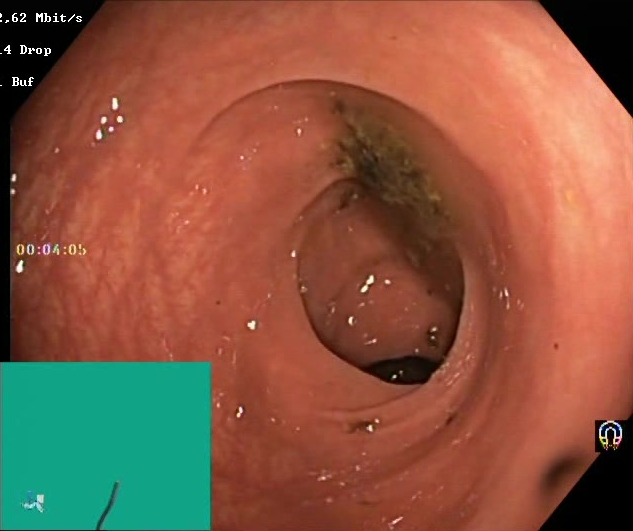{"modality": "lower-GI endoscopy", "category": "mucosal-view quality", "finding": "BBPS score 0\u20131 (inadequate preparation)"}